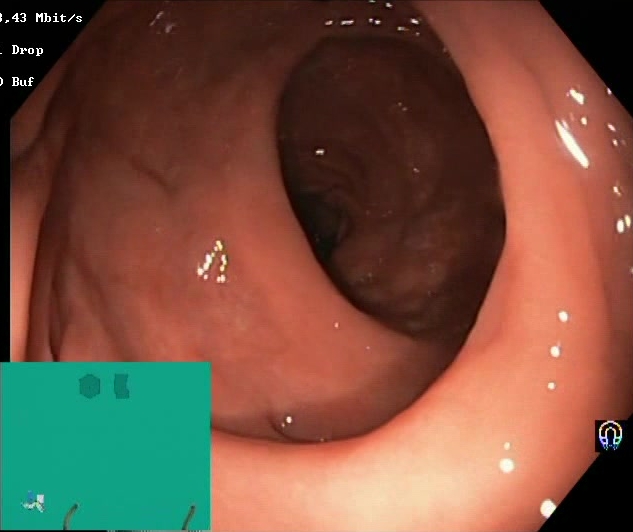PROCEDURE: Lower gastrointestinal endoscopy.
CATEGORY: Mucosal-view quality.
FINDINGS: Boston Bowel Preparation Scale score 2–3 (adequate preparation).